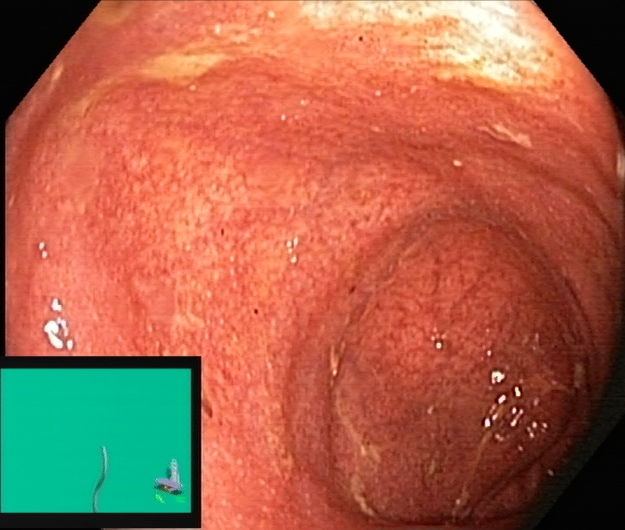Colonoscopy. Finding: ulcerative colitis, Mayo endoscopic subscore 1–2.